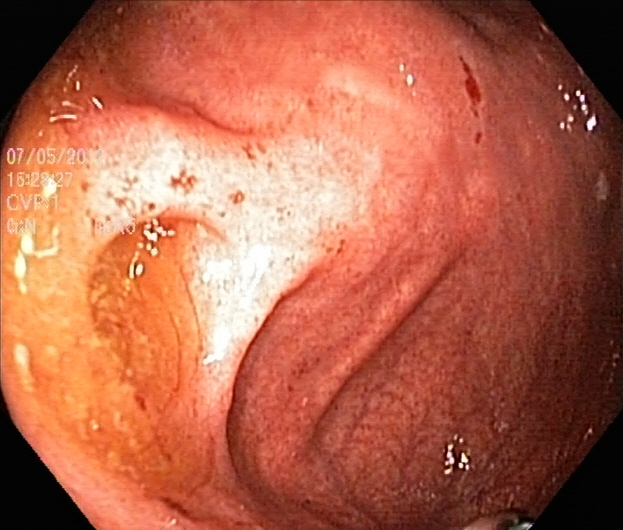Lower gastrointestinal endoscopy image showing cecum.